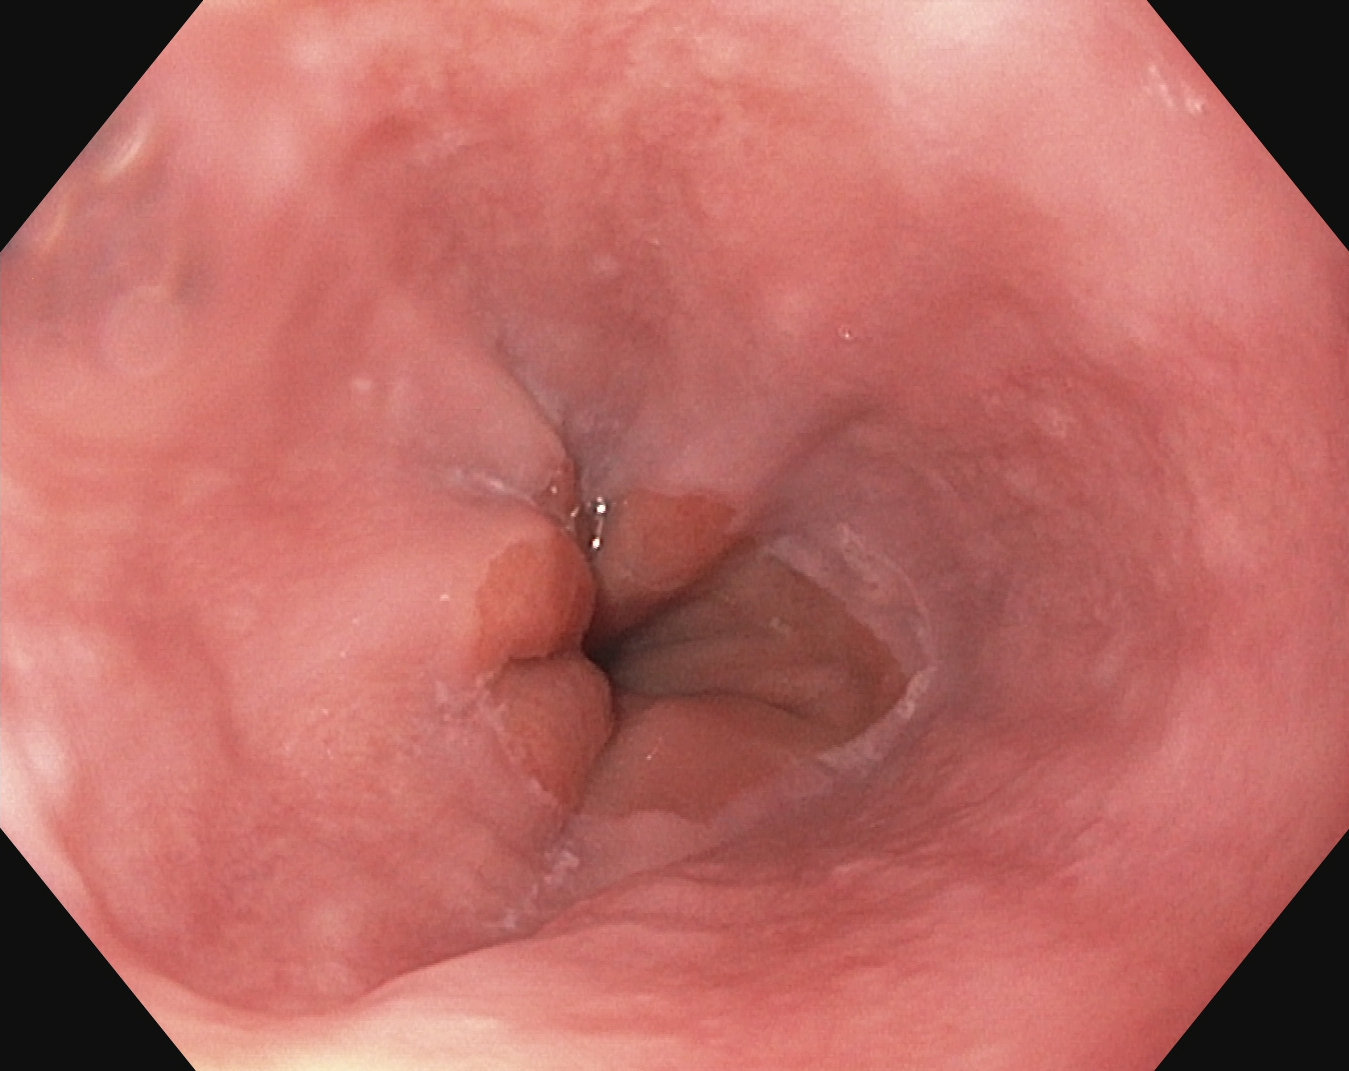Upper-GI endoscopy. Tract: upper GI tract. Finding: Z-line (gastroesophageal junction).